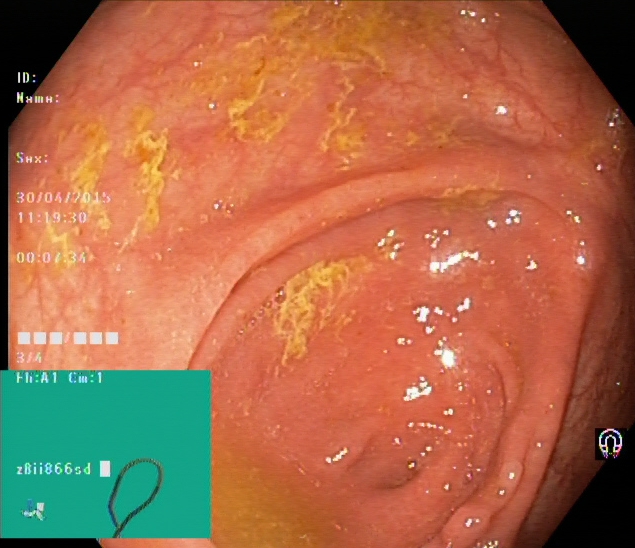This endoscopic image of the lower GI tract shows cecum.